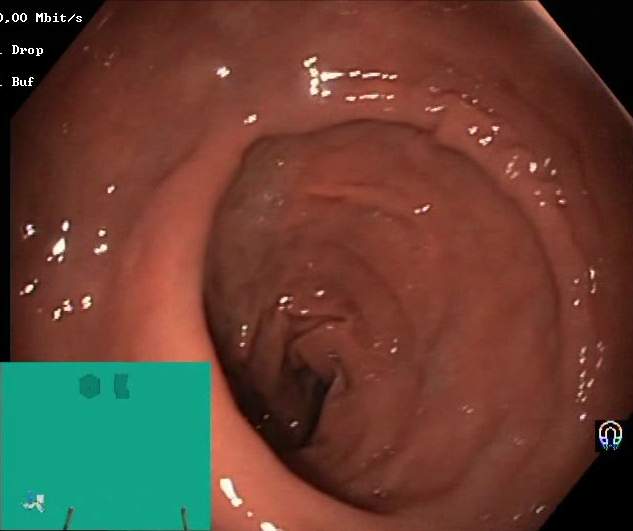This endoscopic image shows Boston Bowel Preparation Scale score 2–3 (adequate preparation).